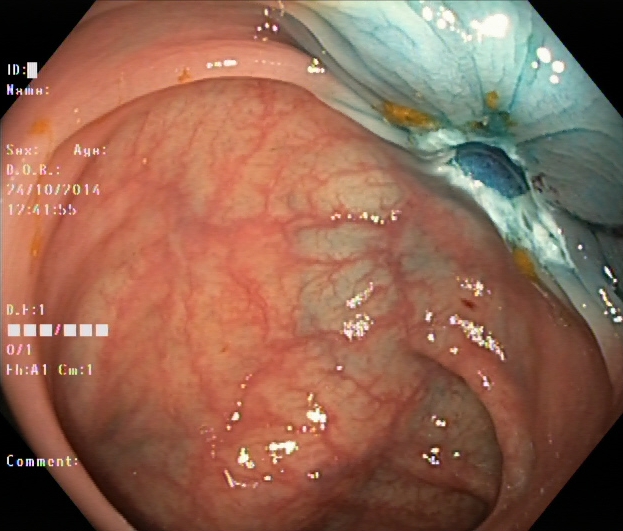Lower gastrointestinal endoscopy. Tract: lower GI tract. Finding: dyed resection margins (post-polypectomy).